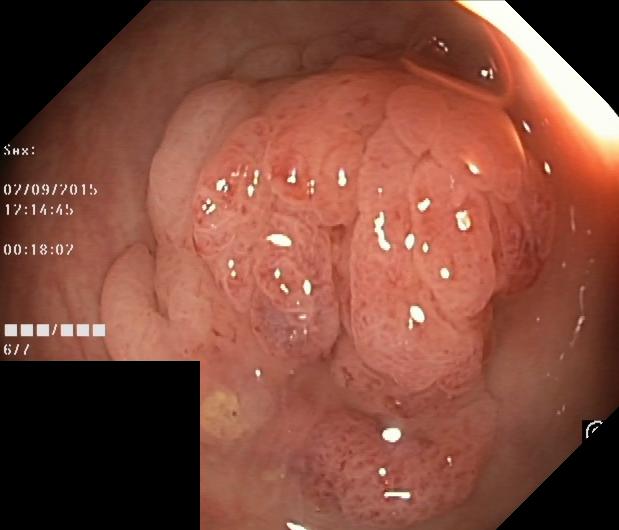Colonoscopy — colorectal polyp(s).